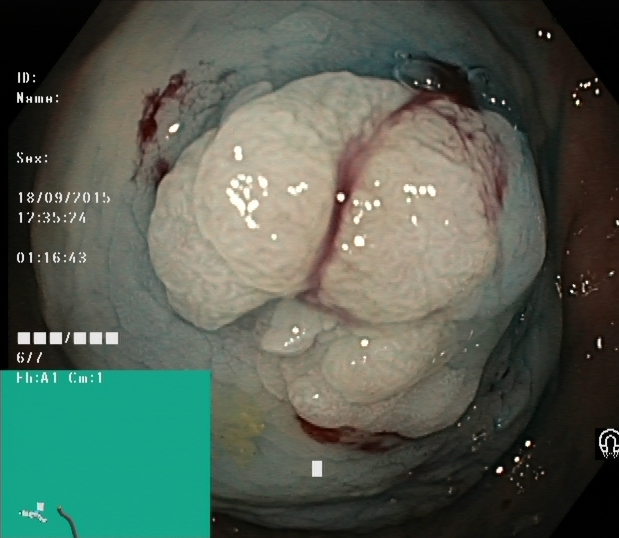Lower-GI endoscopy. Therapeutic intervention. Finding: dyed and lifted polyp (pre-resection).